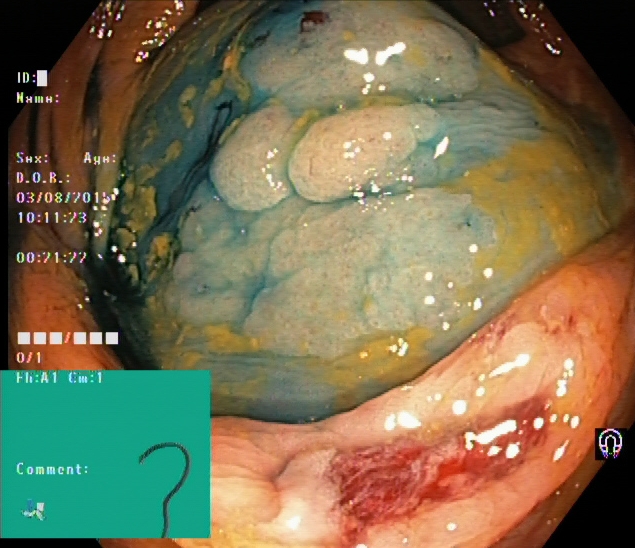Colonoscopy. Therapeutic intervention. Finding: dyed and lifted polyp (pre-resection).